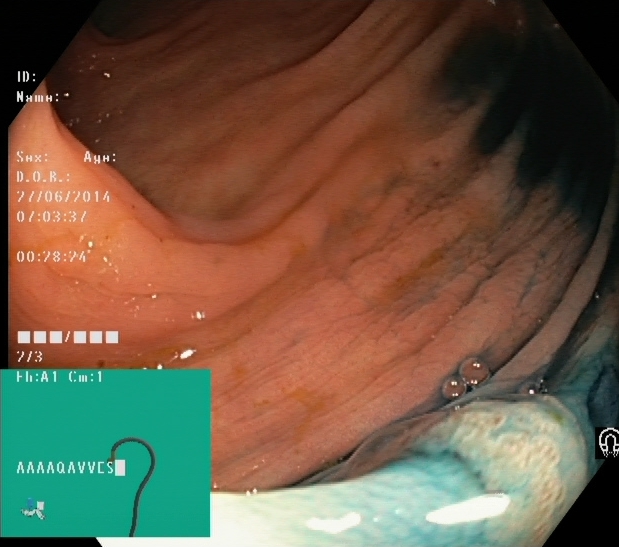modality: colonoscopy; tract: lower GI tract; finding: dyed and lifted polyp (pre-resection)